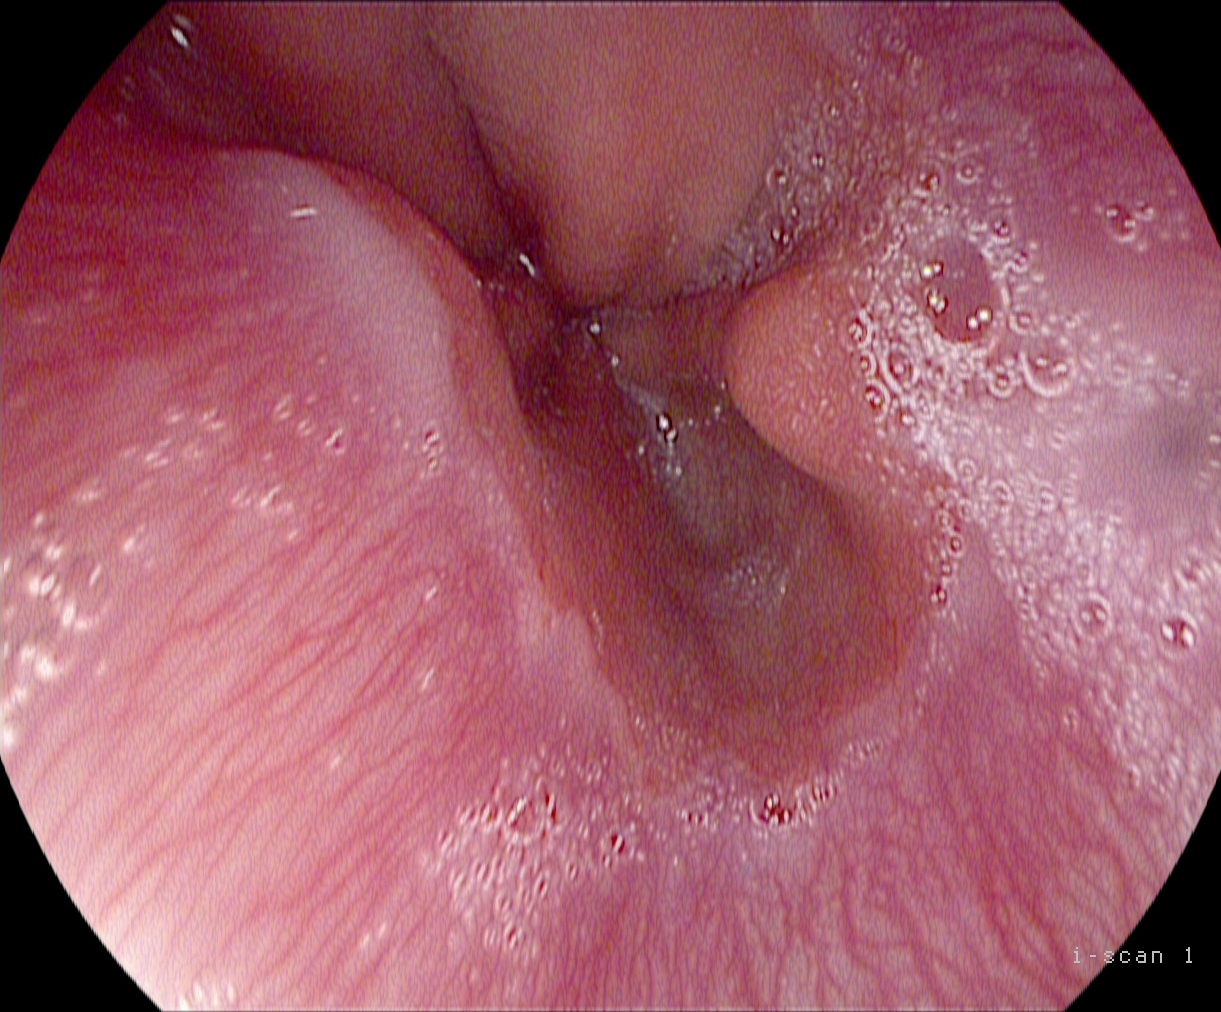EGD image of the upper GI tract showing Z-line (gastroesophageal junction).